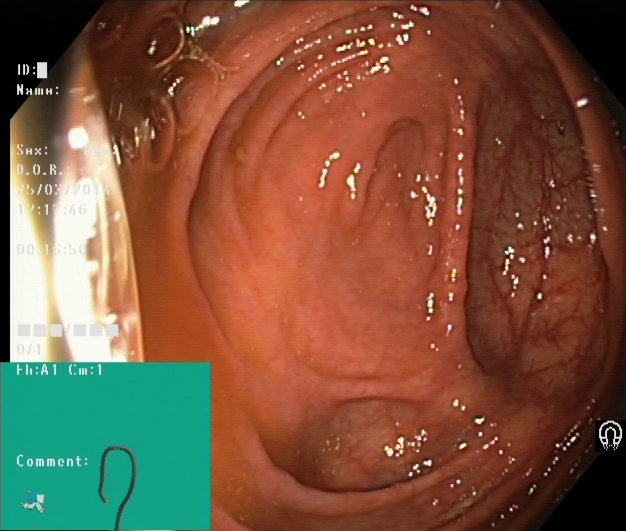{"modality": "lower-GI endoscopy", "category": "anatomical landmark", "finding": "cecum"}